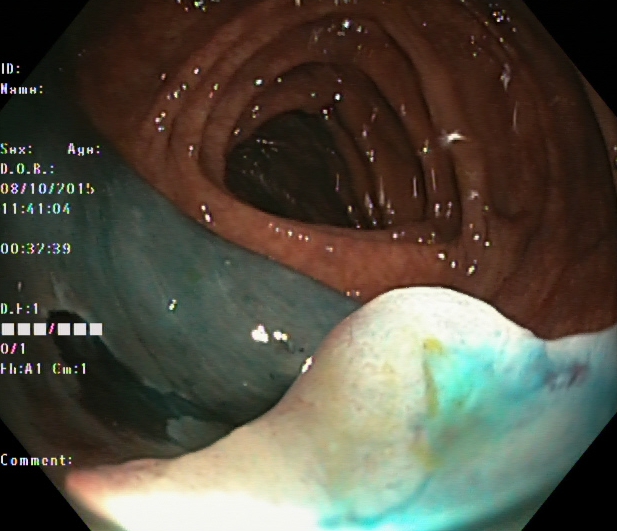PROCEDURE: Lower-GI endoscopy.
FINDINGS: Dyed and lifted polyp (pre-resection).